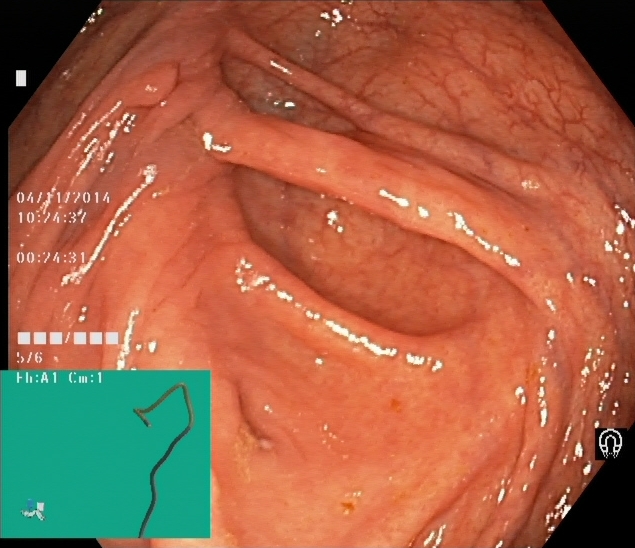Lower-GI endoscopy. Tract: lower GI tract. Anatomical landmark. Finding: cecum.